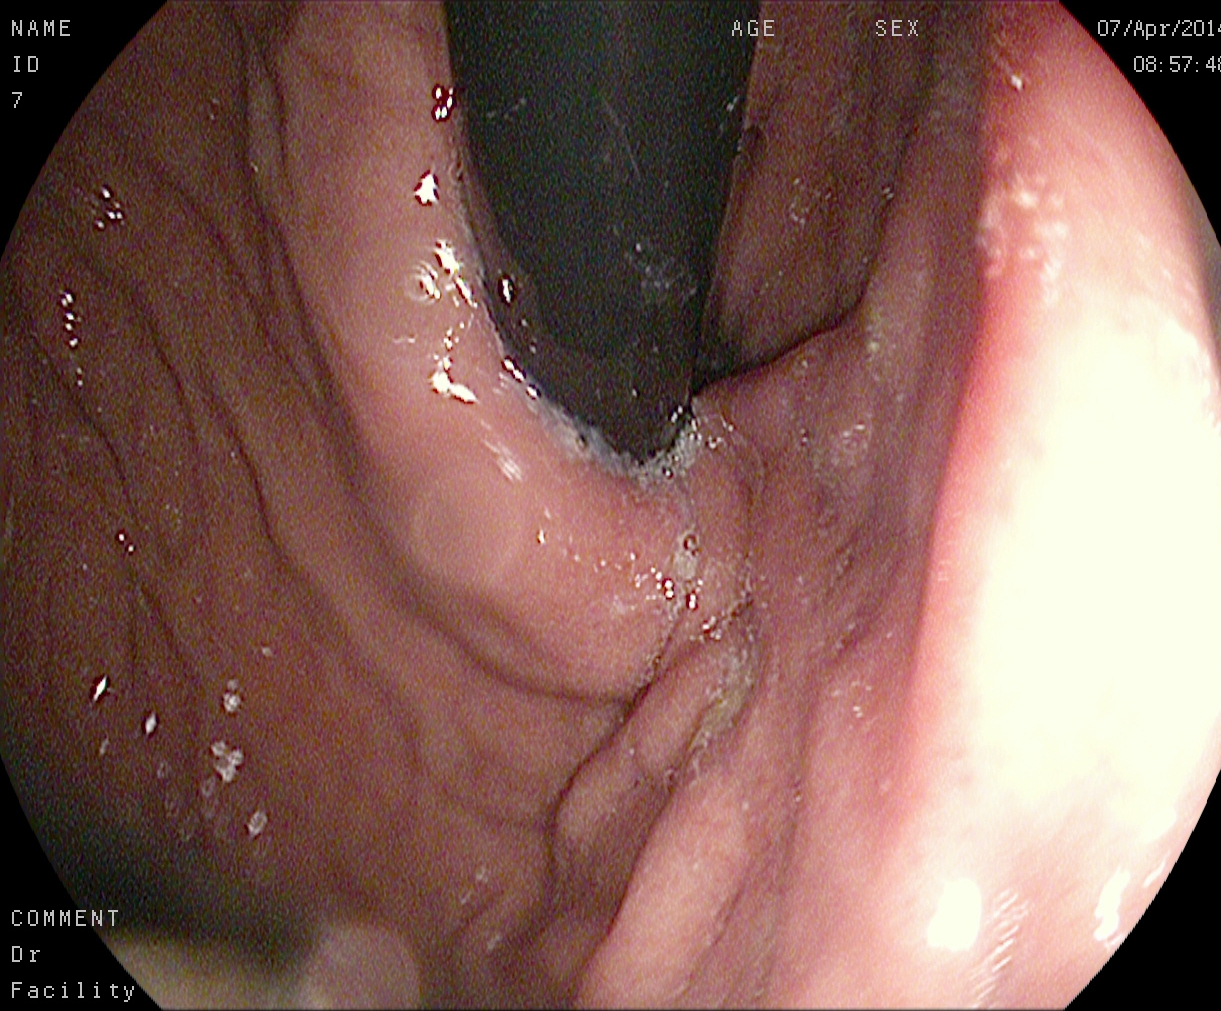This endoscopy frame of the upper GI tract shows stomach in retroflexion.